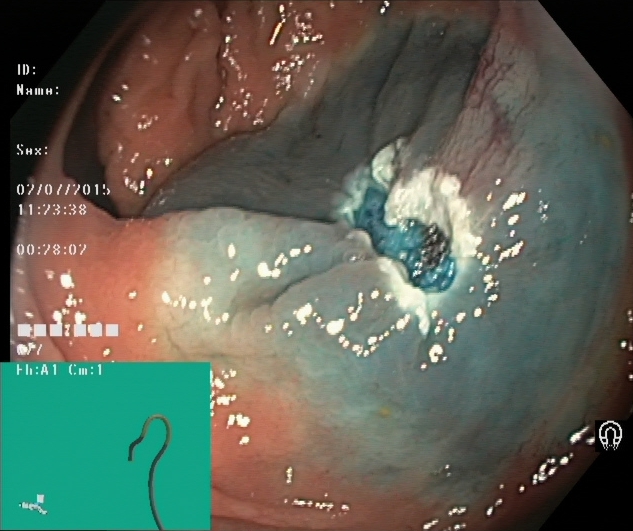Dyed resection margins (post-polypectomy).